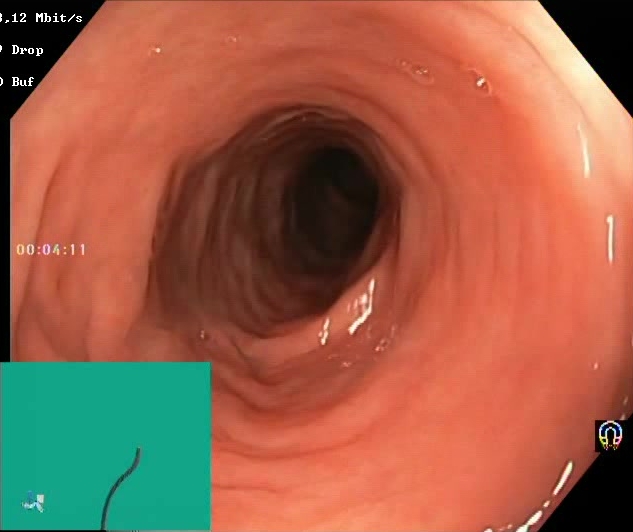This endoscopic image shows Boston Bowel Preparation Scale score 2–3 (adequate preparation).